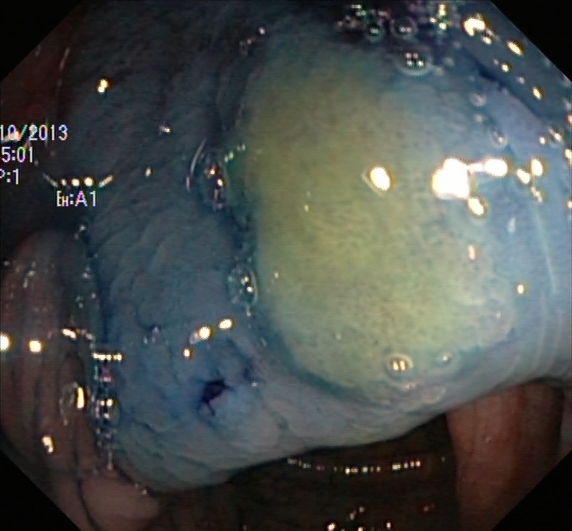PROCEDURE: Lower gastrointestinal endoscopy.
FINDINGS: Dyed and lifted polyp (pre-resection).